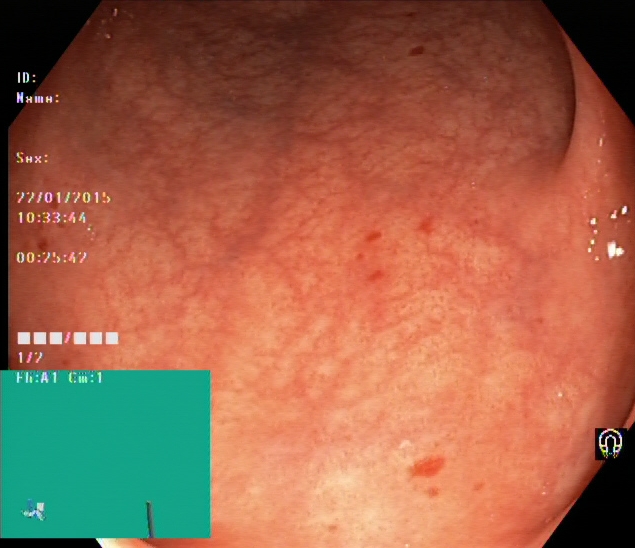modality: lower-GI endoscopy
finding: ulcerative colitis, Mayo endoscopic subscore 0–1